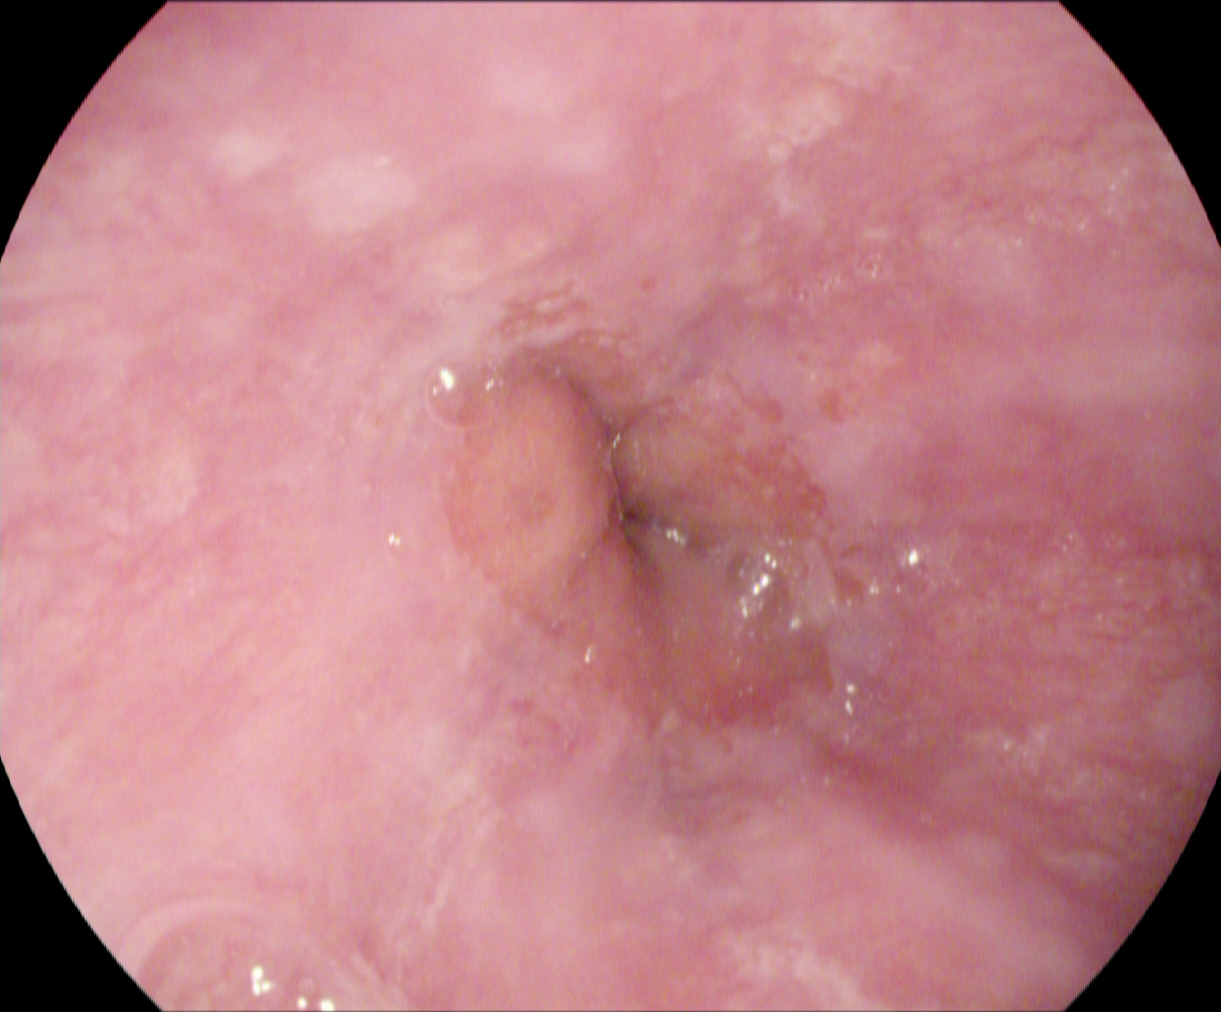Gastroscopy. Tract: upper GI tract. Anatomical landmark. Finding: Z-line (gastroesophageal junction).